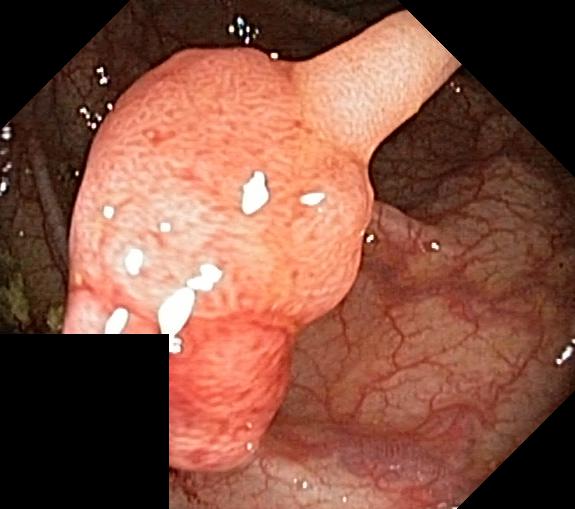PROCEDURE: Lower-GI endoscopy.
CATEGORY: Pathological finding.
FINDINGS: Colorectal polyp(s).